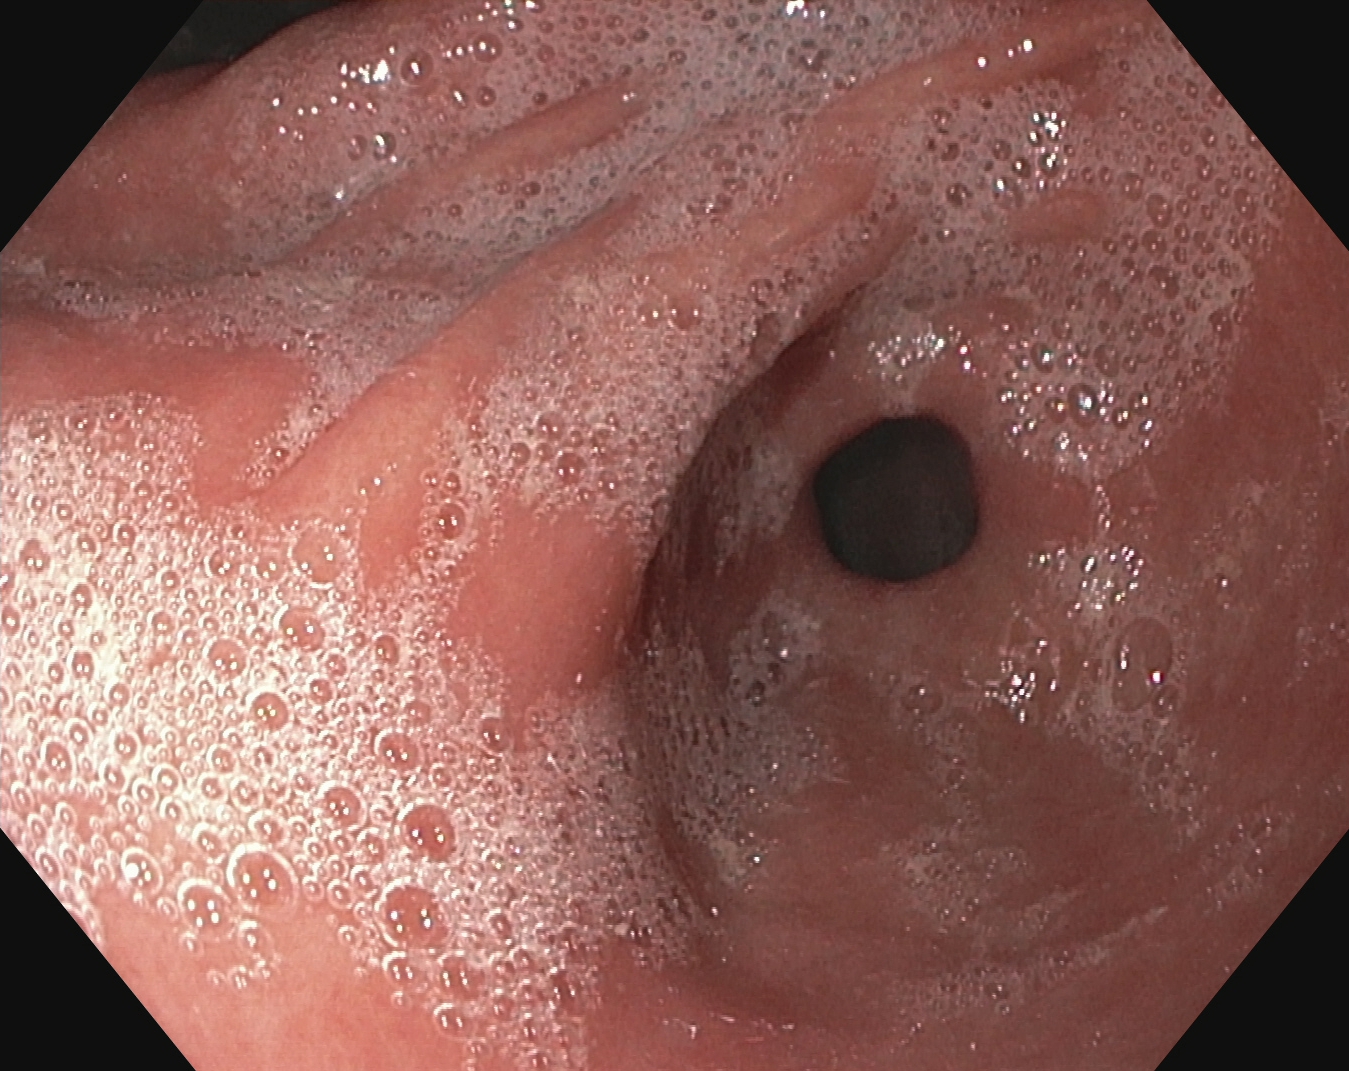Pylorus.